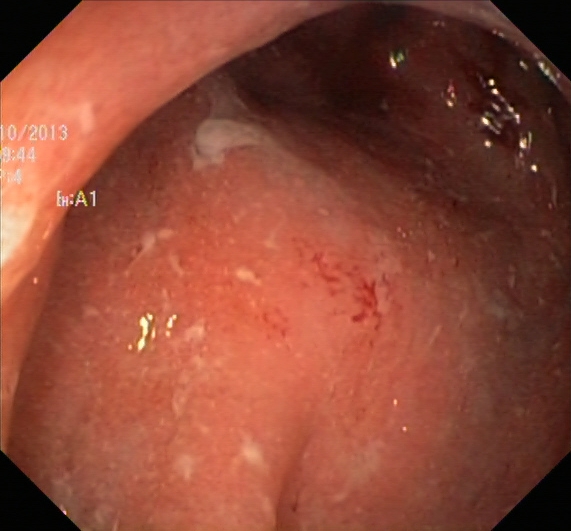Lower gastrointestinal endoscopy image of the lower GI tract showing UC, Mayo endoscopic subscore 2.